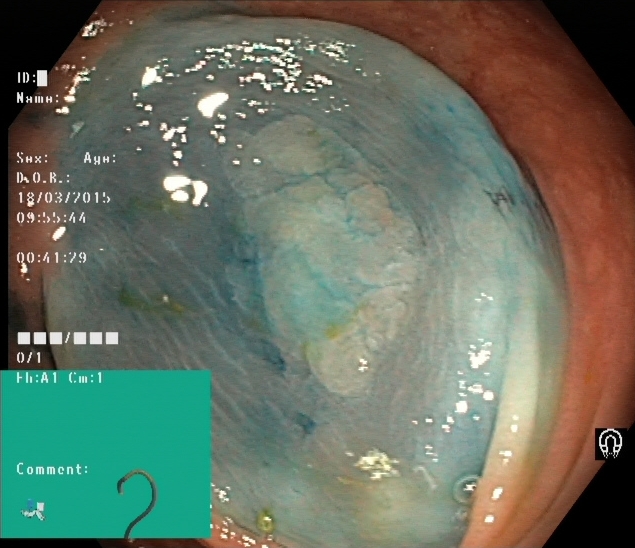{"modality": "lower-GI endoscopy", "tract": "lower GI tract", "finding": "dyed and lifted polyp (pre-resection)"}